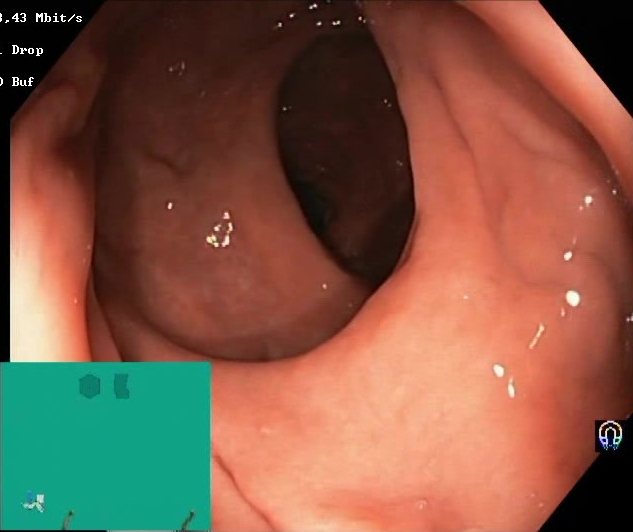Colonoscopy. Tract: lower GI tract. Finding: BBPS score 2–3 (adequate preparation).